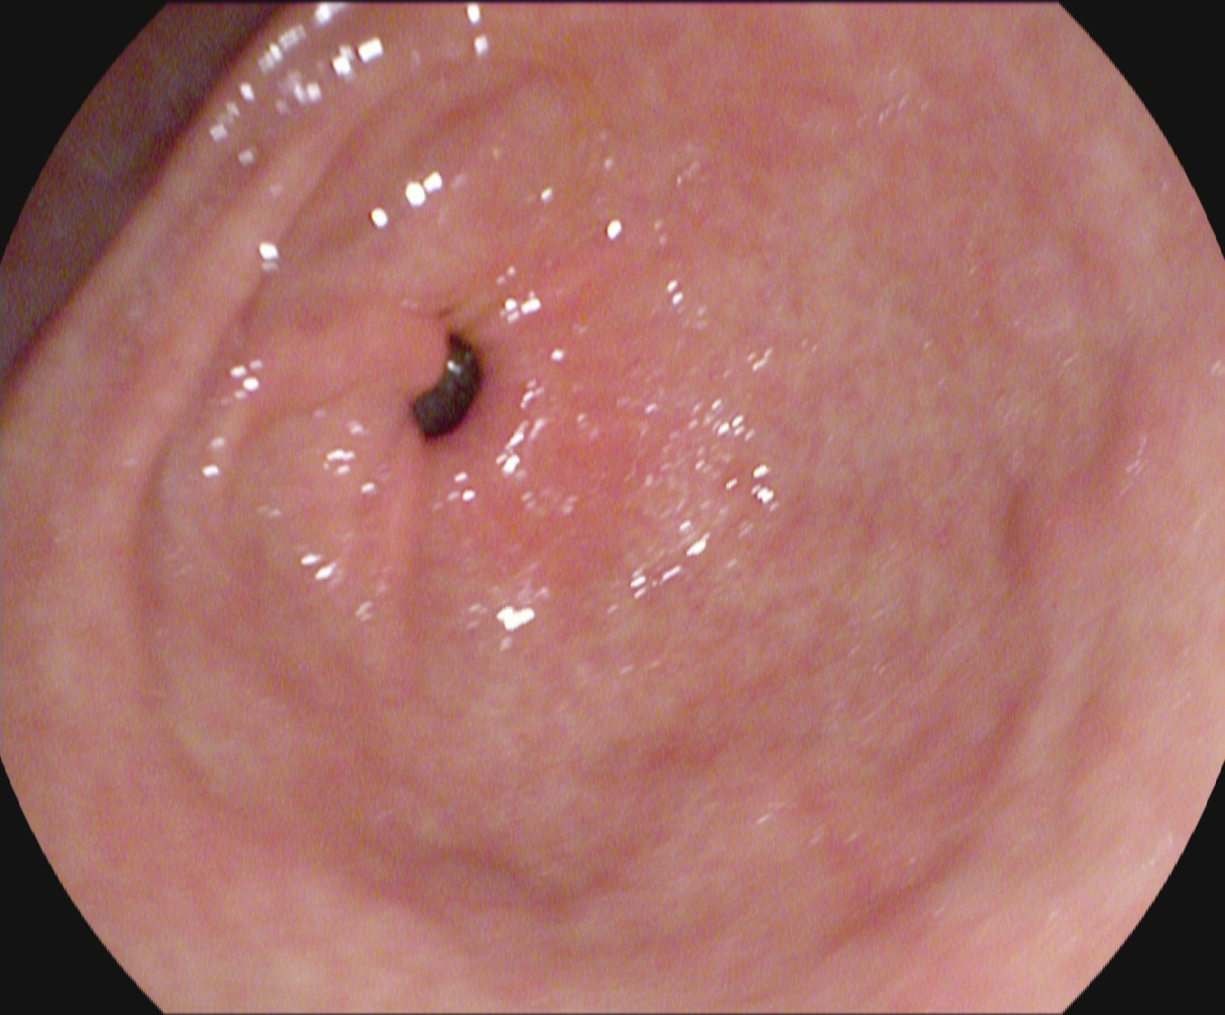This endoscopy frame of the upper GI tract shows pylorus.